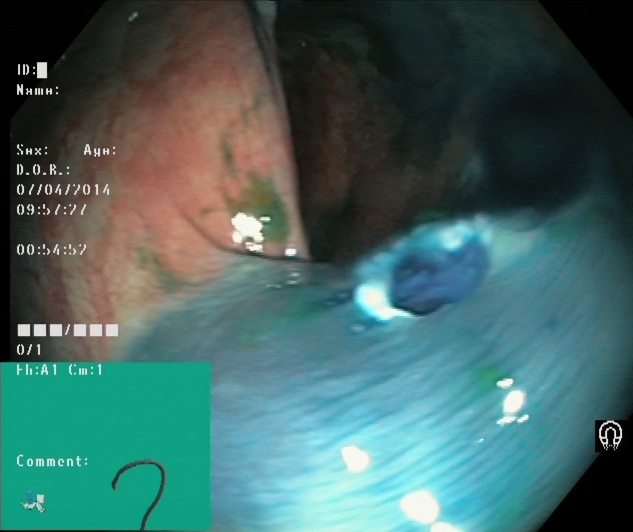modality: lower gastrointestinal endoscopy; tract: lower GI tract; category: therapeutic intervention; finding: dyed resection margins (post-polypectomy)